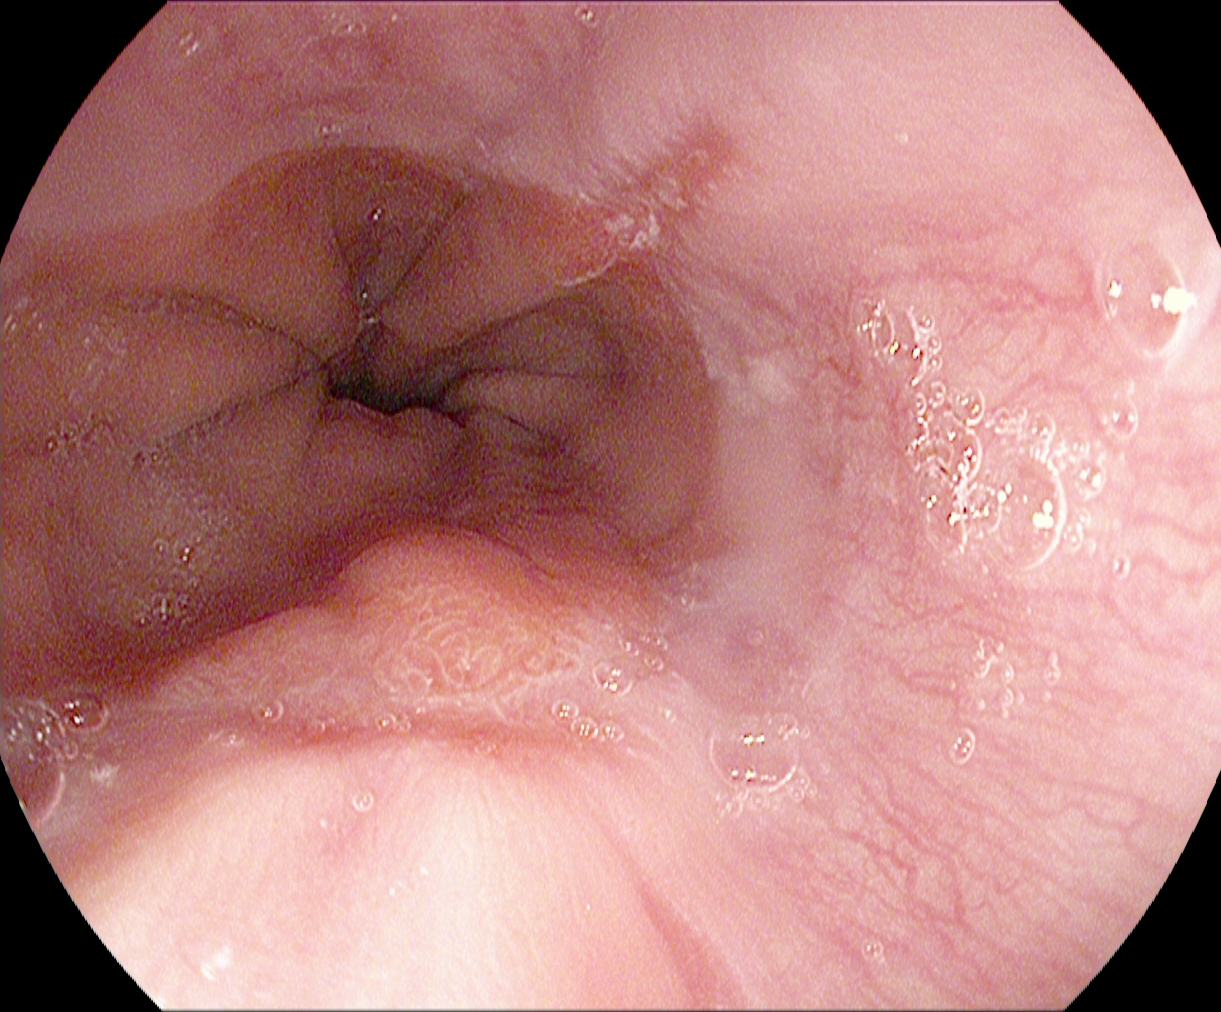PROCEDURE: Esophagogastroduodenoscopy.
FINDINGS: Reflux esophagitis, LA grade A.